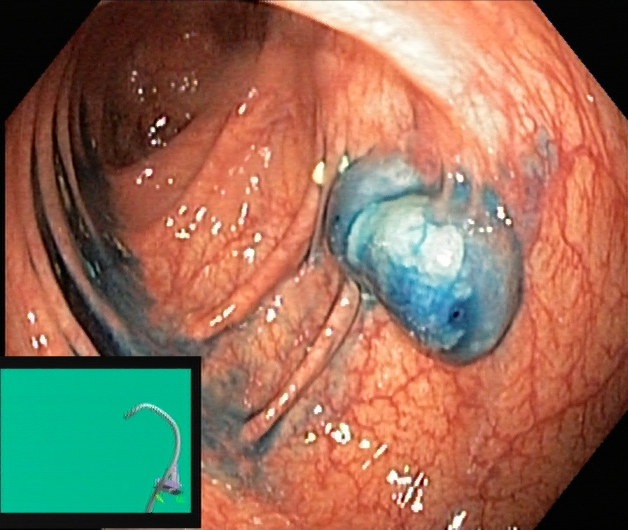{"modality": "lower-GI endoscopy", "tract": "lower GI tract", "finding": "dyed and lifted polyp (pre-resection)"}